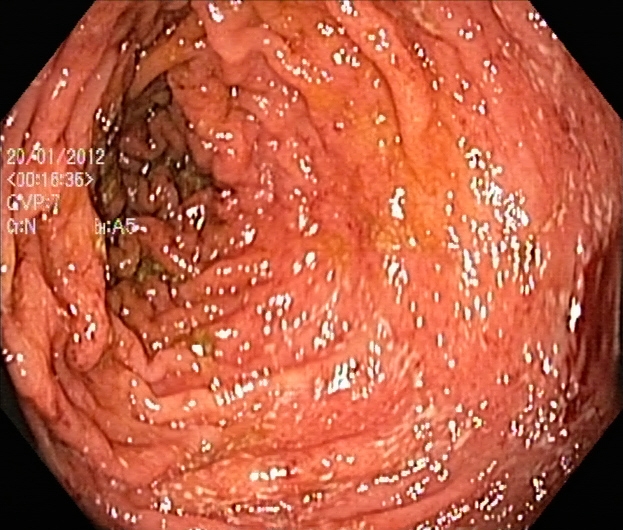UC, Mayo endoscopic subscore 2.